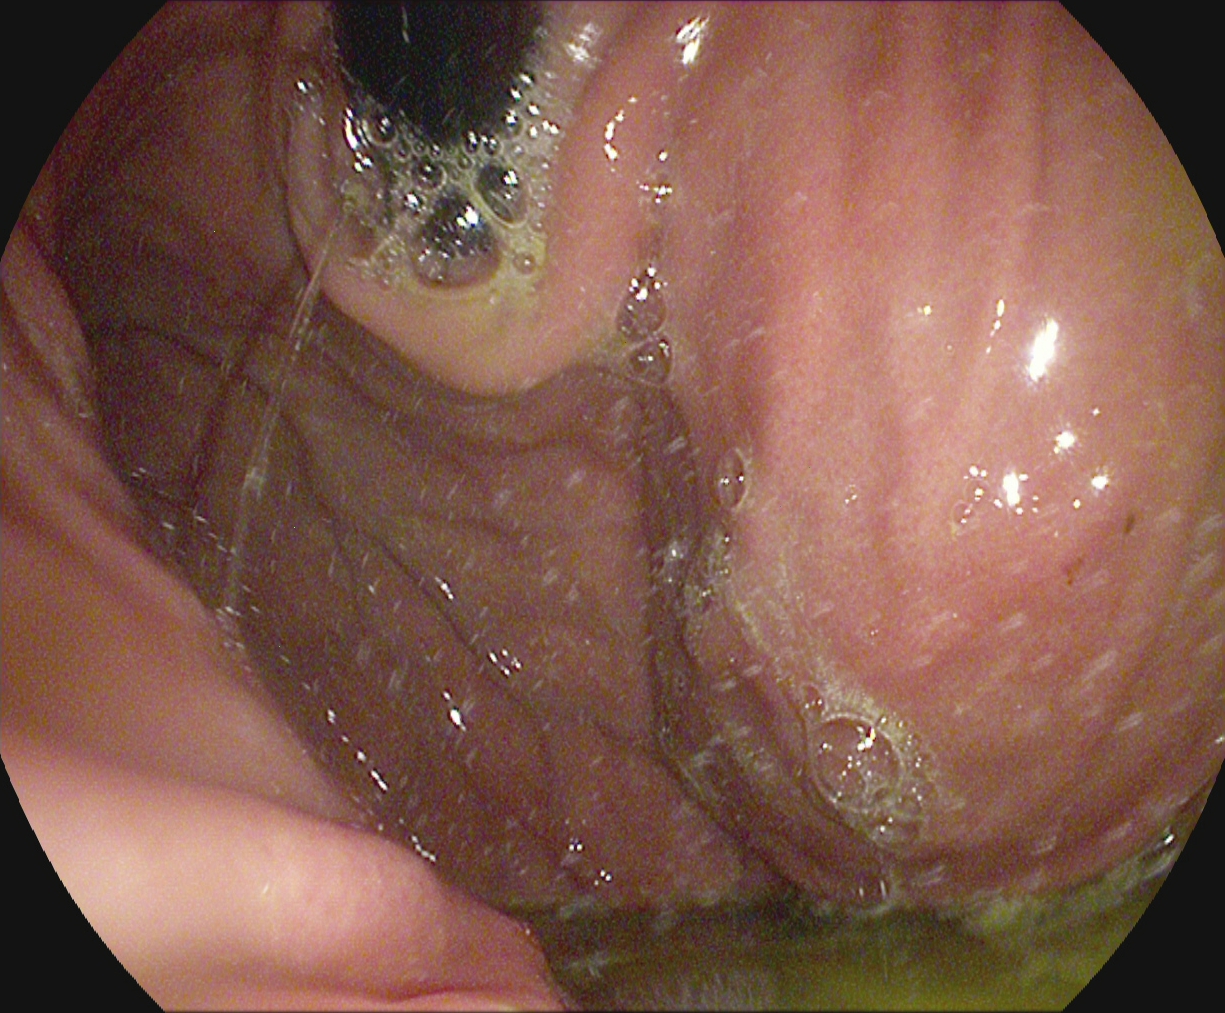Upper-GI endoscopy image of the upper GI tract showing stomach in retroflexion.